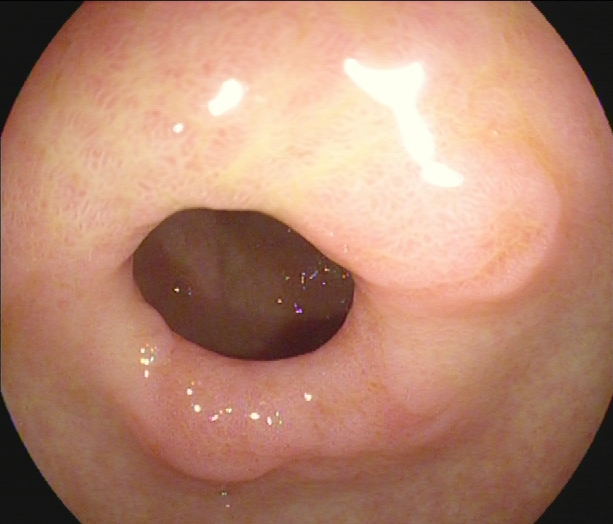Pylorus.